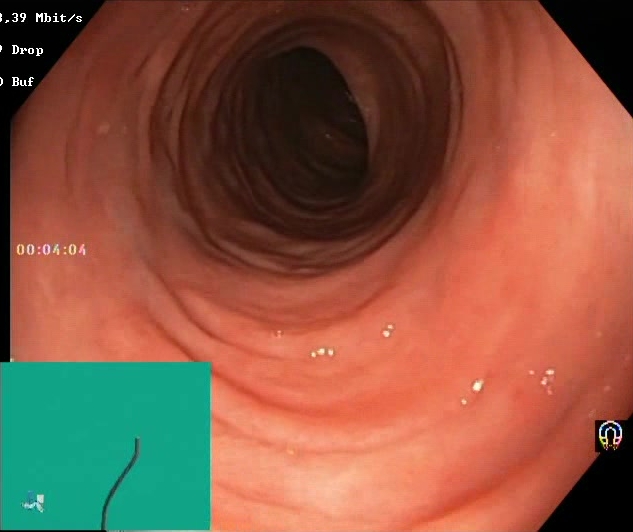Lower gastrointestinal endoscopy. Tract: lower GI tract. Mucosal-view quality. Finding: Boston Bowel Preparation Scale score 2–3 (adequate preparation).